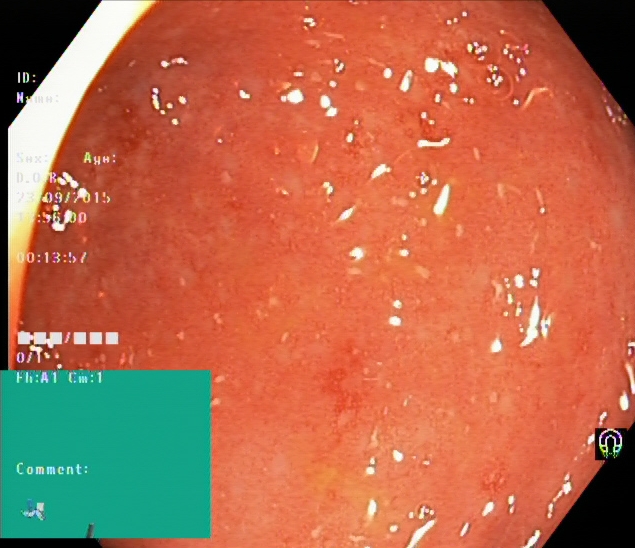Lower-GI endoscopy image of the lower GI tract showing ulcerative colitis, Mayo endoscopic subscore 2.